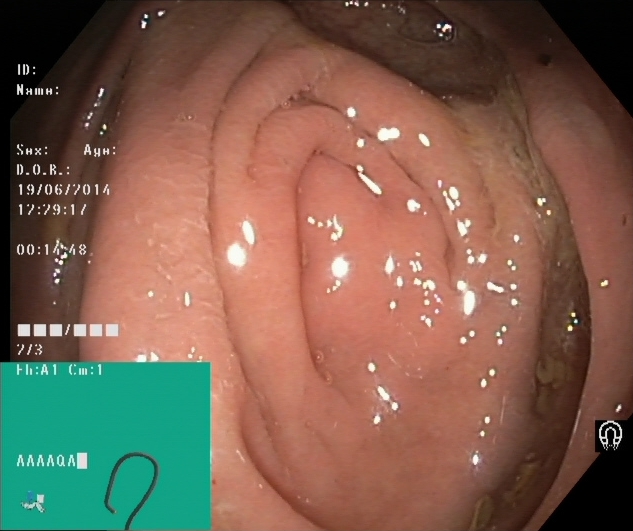This endoscopic image shows cecum.